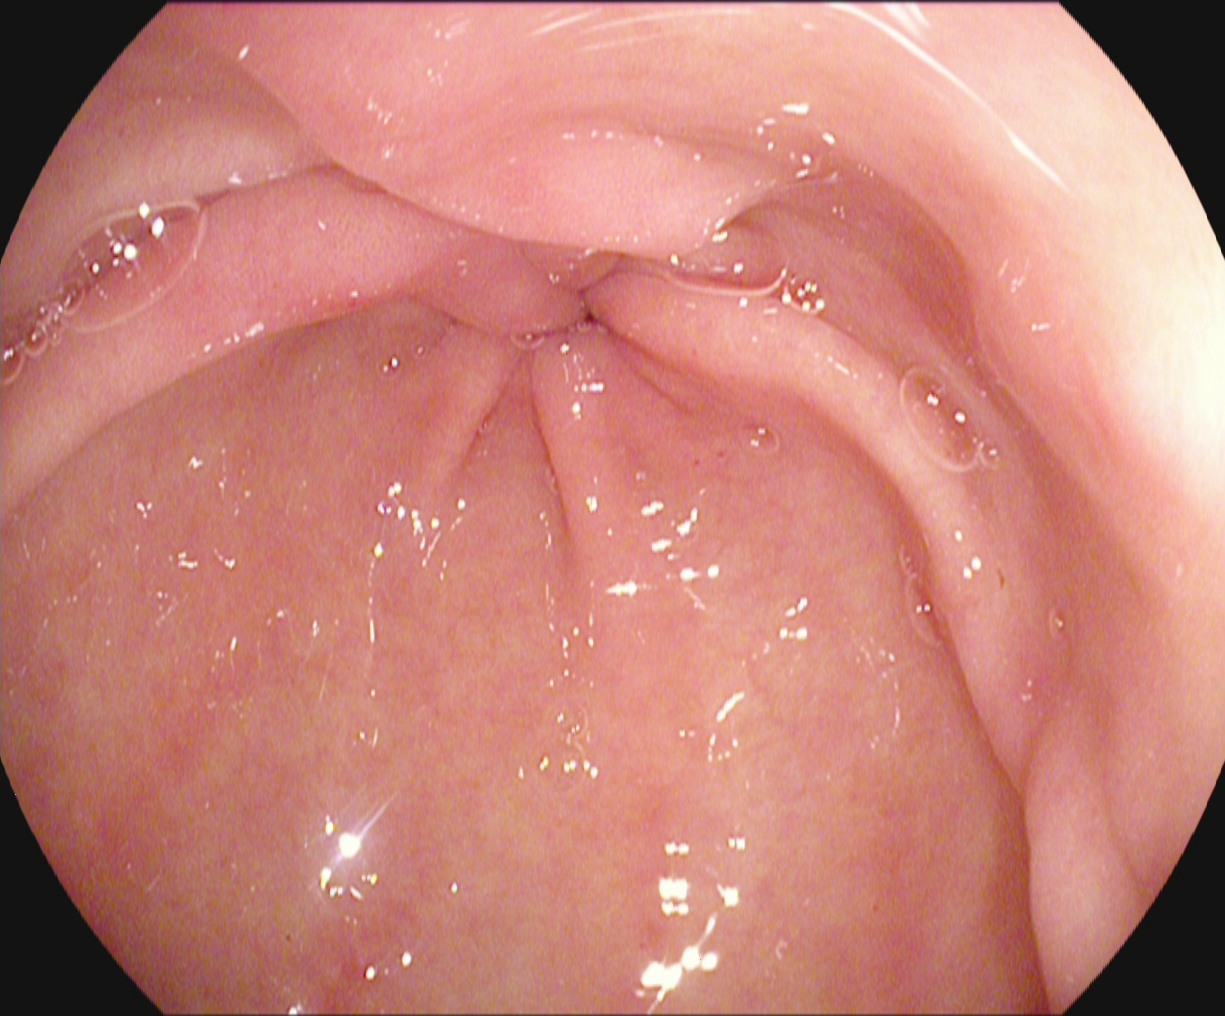EGD. Tract: upper GI tract. Anatomical landmark. Finding: pylorus.